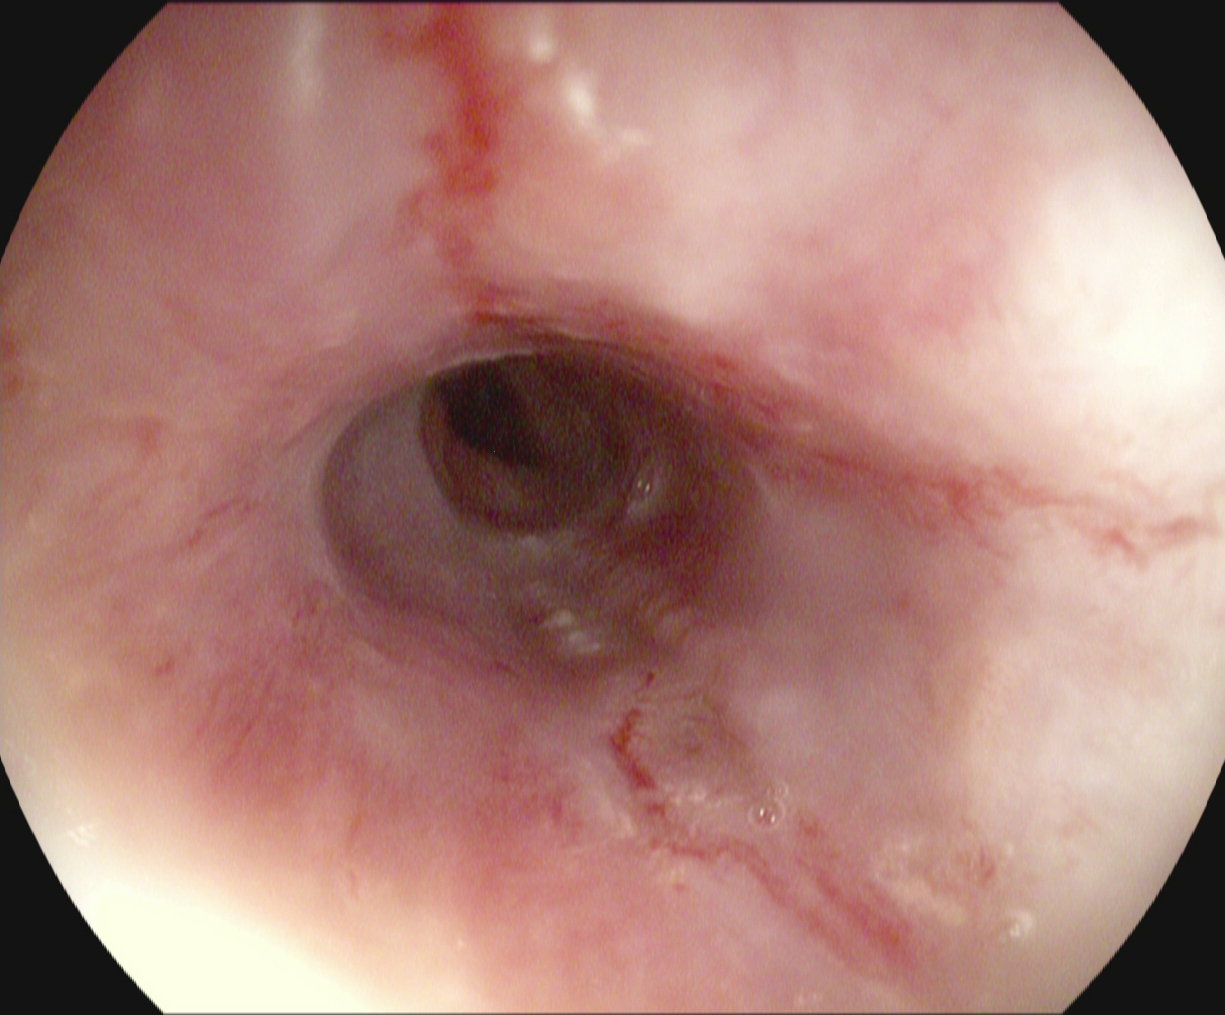Reflux esophagitis, Los Angeles grade B–D.